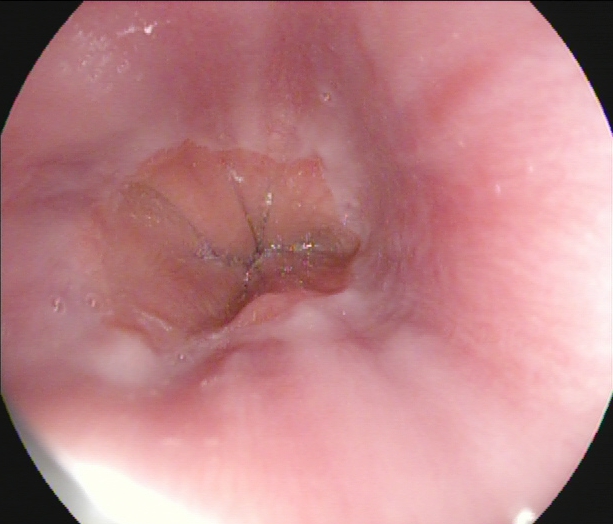Gastroscopy. Finding: Z-line (gastroesophageal junction).